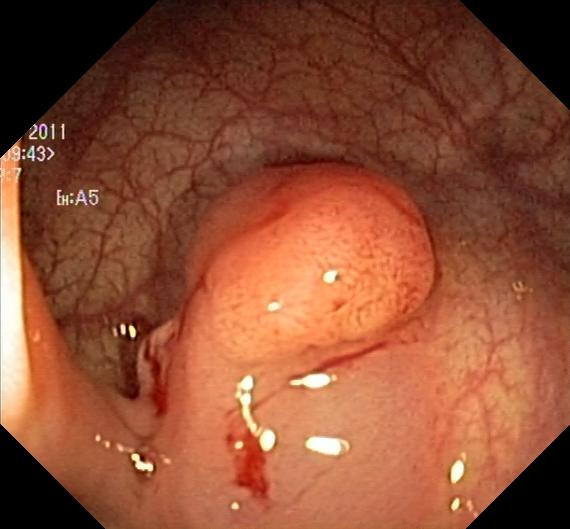Lower-GI endoscopy. Tract: lower GI tract. Finding: colorectal polyp(s).